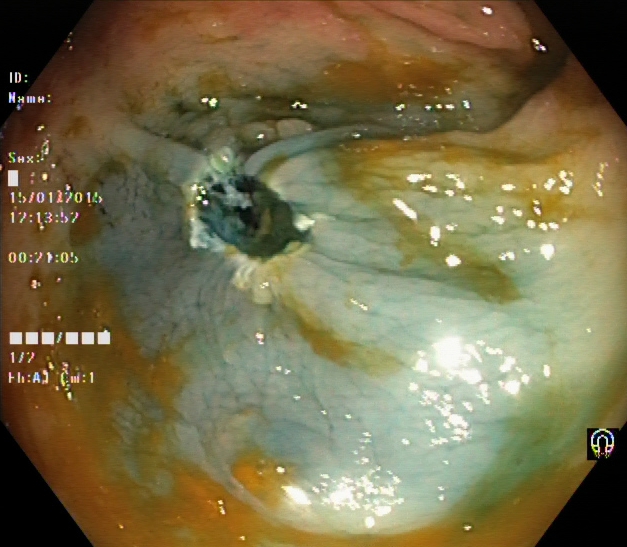Colonoscopy. Tract: lower GI tract. Therapeutic intervention. Finding: dyed resection margins (post-polypectomy).